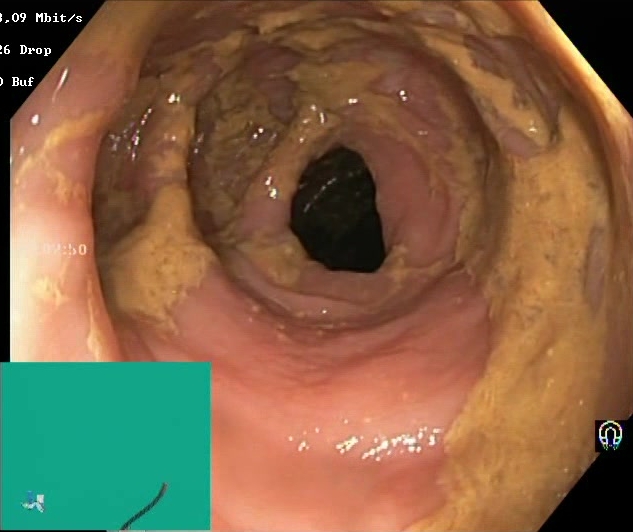PROCEDURE: Colonoscopy.
FINDINGS: Boston Bowel Preparation Scale score 0–1 (inadequate preparation).